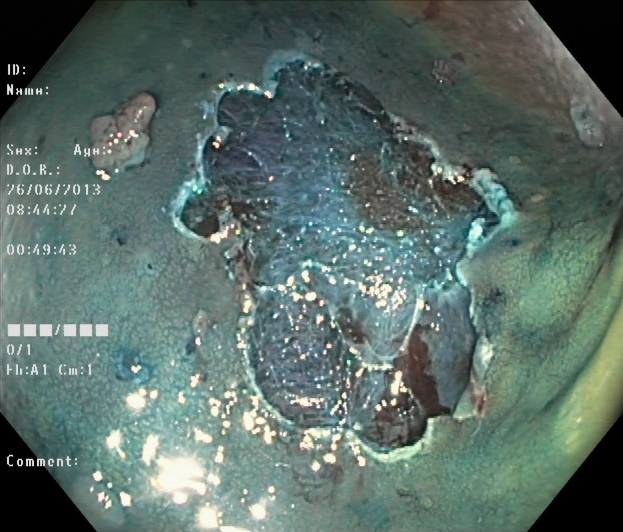PROCEDURE: Lower-GI endoscopy.
FINDINGS: Dyed resection margins (post-polypectomy).